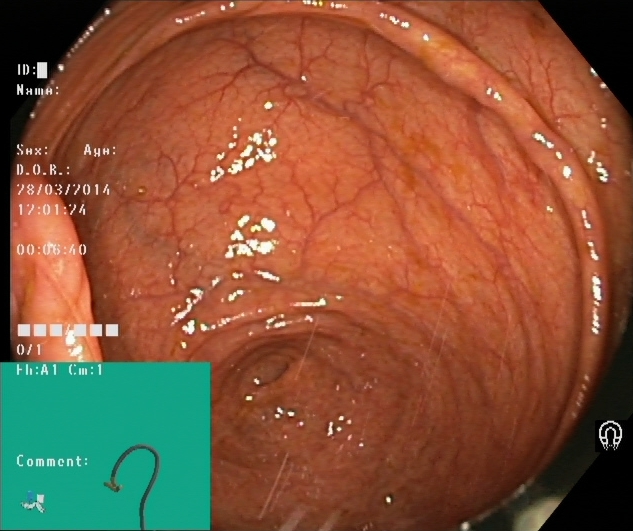Gastrointestinal endoscopy image of the lower GI tract showing cecum.